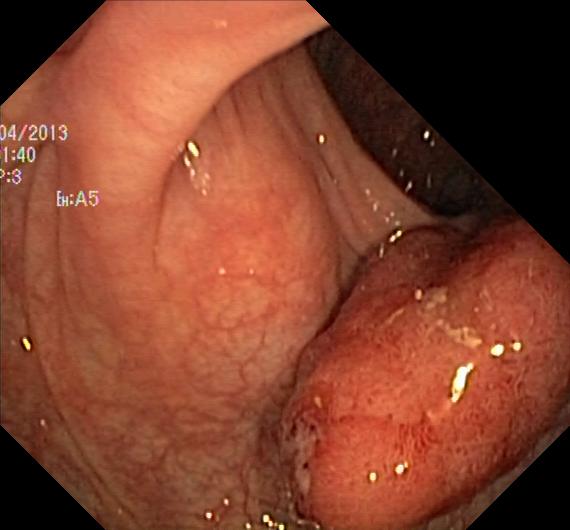Colorectal polyp(s).